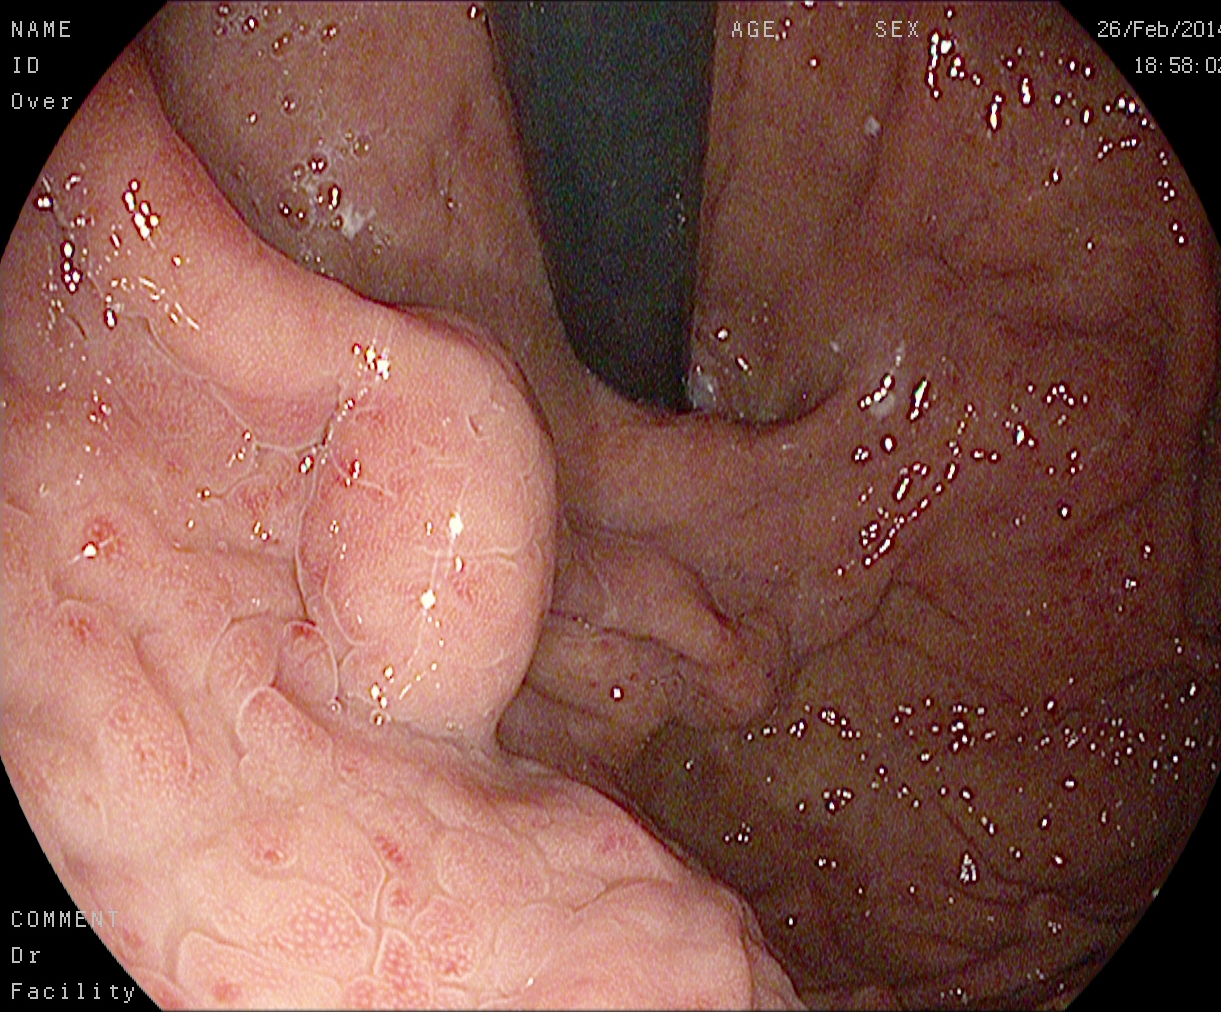PROCEDURE: Esophagogastroduodenoscopy.
FINDINGS: Stomach in retroflexion.